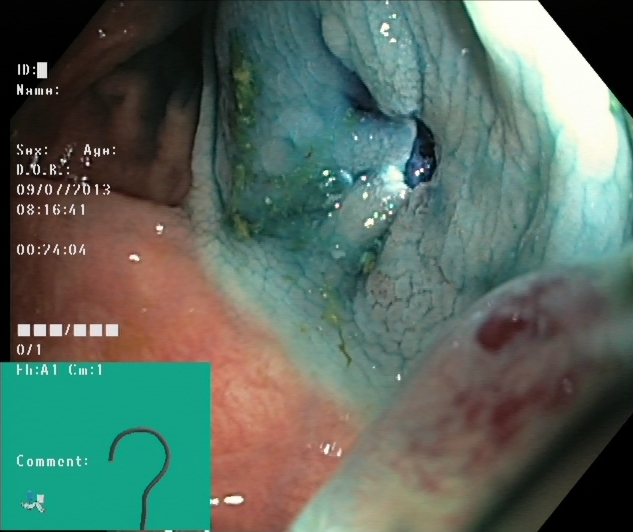Endoscopic image showing dyed and lifted polyp (pre-resection).